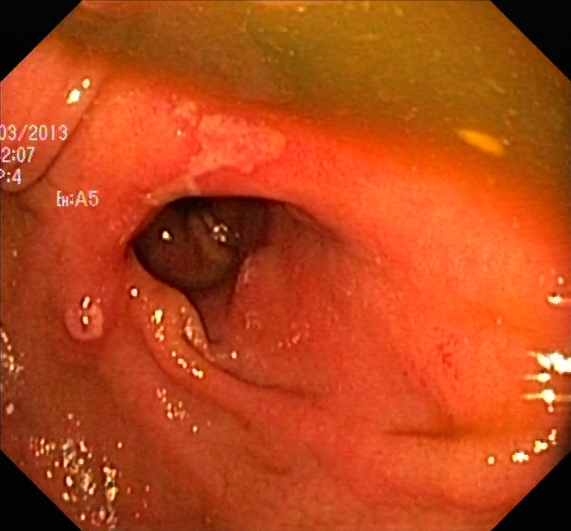Endoscopy image of the lower GI tract showing UC, Mayo endoscopic subscore 2.